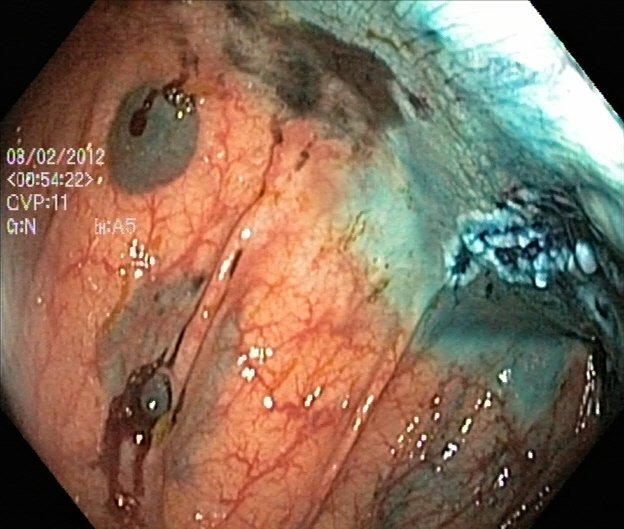PROCEDURE: Lower-GI endoscopy.
CATEGORY: Therapeutic intervention.
FINDINGS: Dyed resection margins (post-polypectomy).